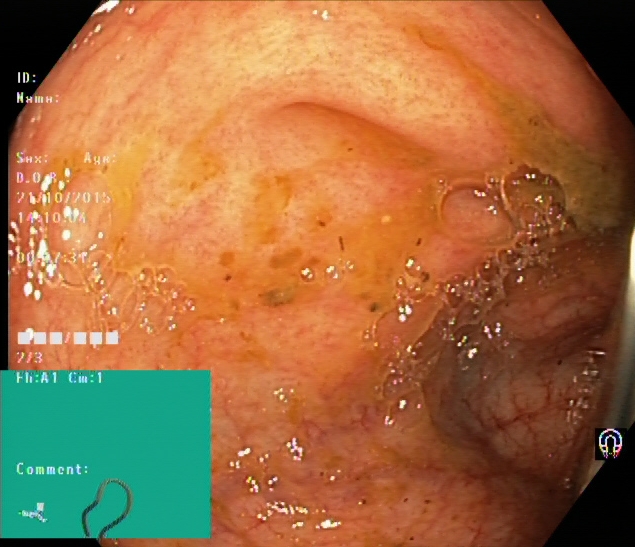Endoscopic image of the lower GI tract showing cecum.